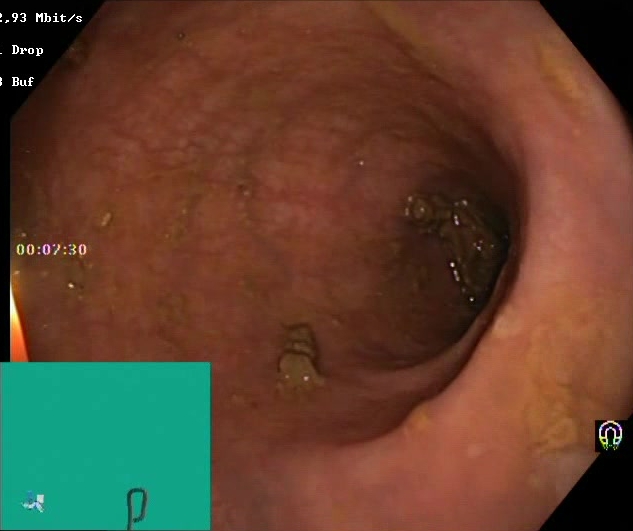Endoscopic image of the lower GI tract showing Boston Bowel Preparation Scale score 2–3 (adequate preparation).